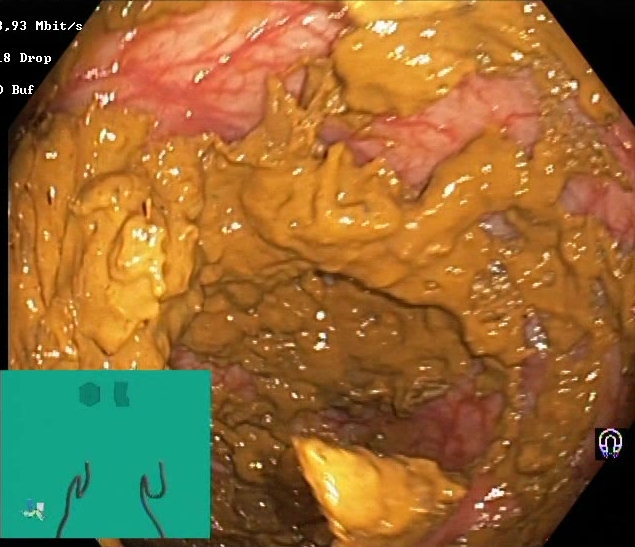Boston Bowel Preparation Scale score 0–1 (inadequate preparation).